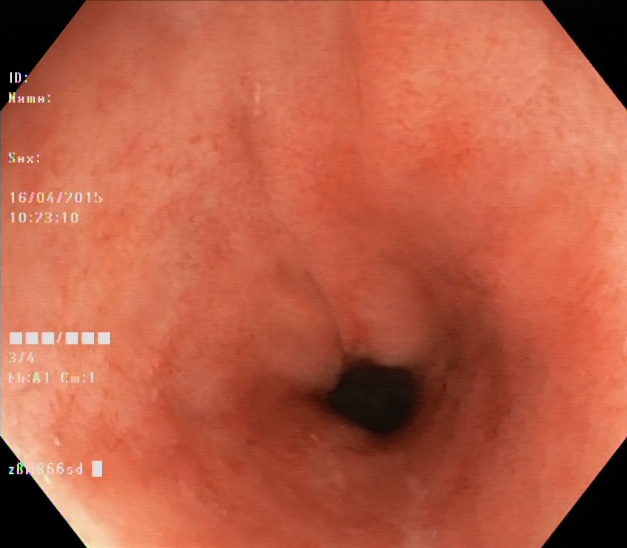{"modality": "colonoscopy", "tract": "lower GI tract", "finding": "UC, Mayo endoscopic subscore 1"}